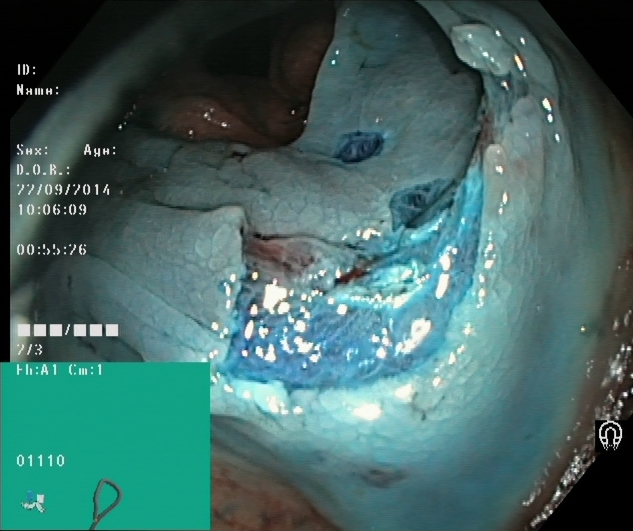Dyed resection margins (post-polypectomy).